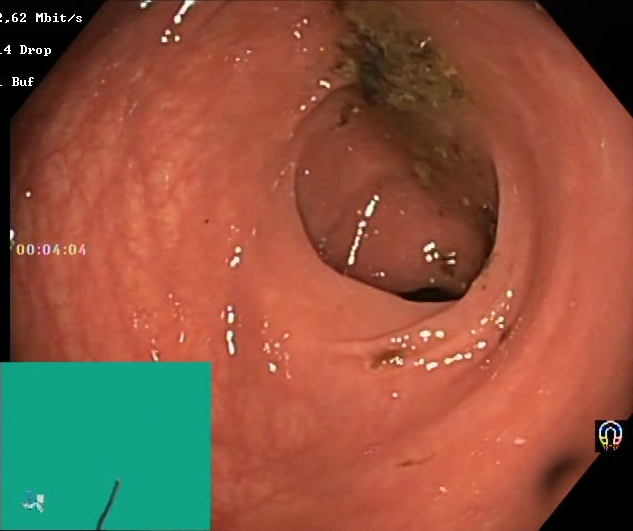GI endoscopy image of the lower GI tract showing Boston Bowel Preparation Scale score 0–1 (inadequate preparation).